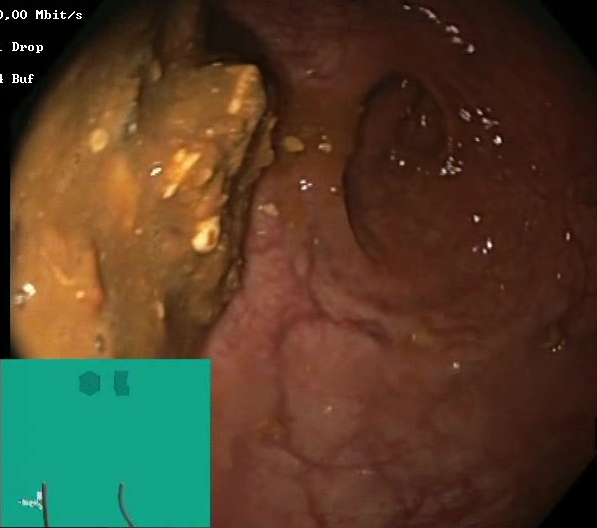modality: colonoscopy
tract: lower GI tract
finding: BBPS score 0–1 (inadequate preparation)